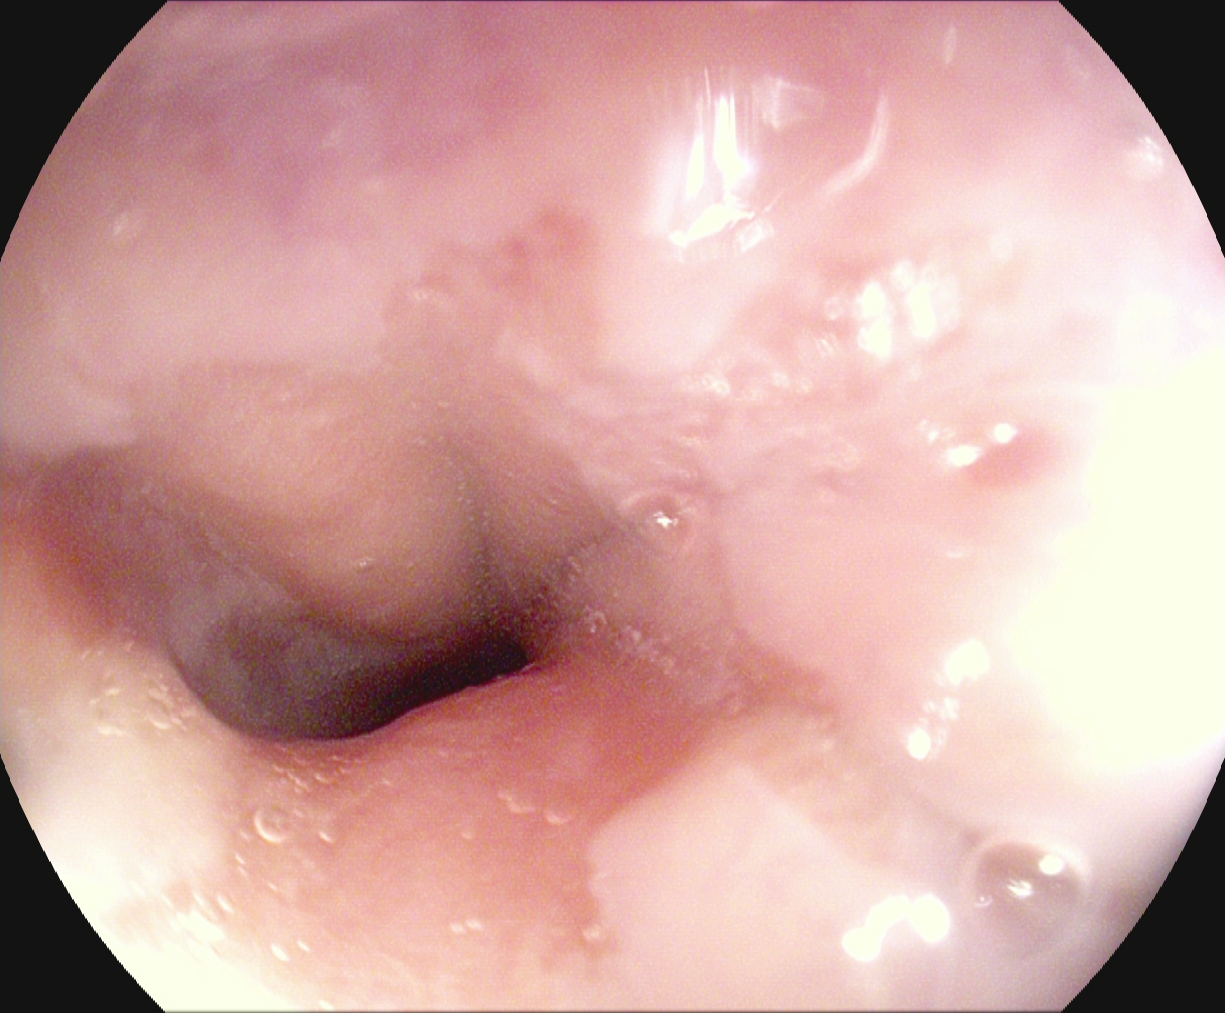This endoscopic image of the upper GI tract shows Z-line (gastroesophageal junction).